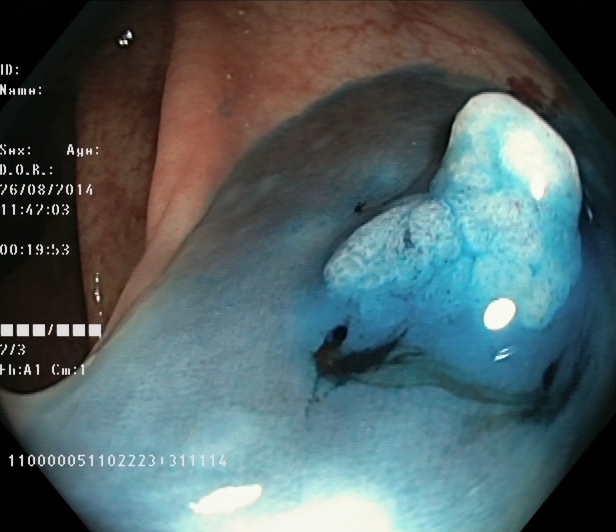{"modality": "colonoscopy", "finding": "dyed and lifted polyp (pre-resection)"}